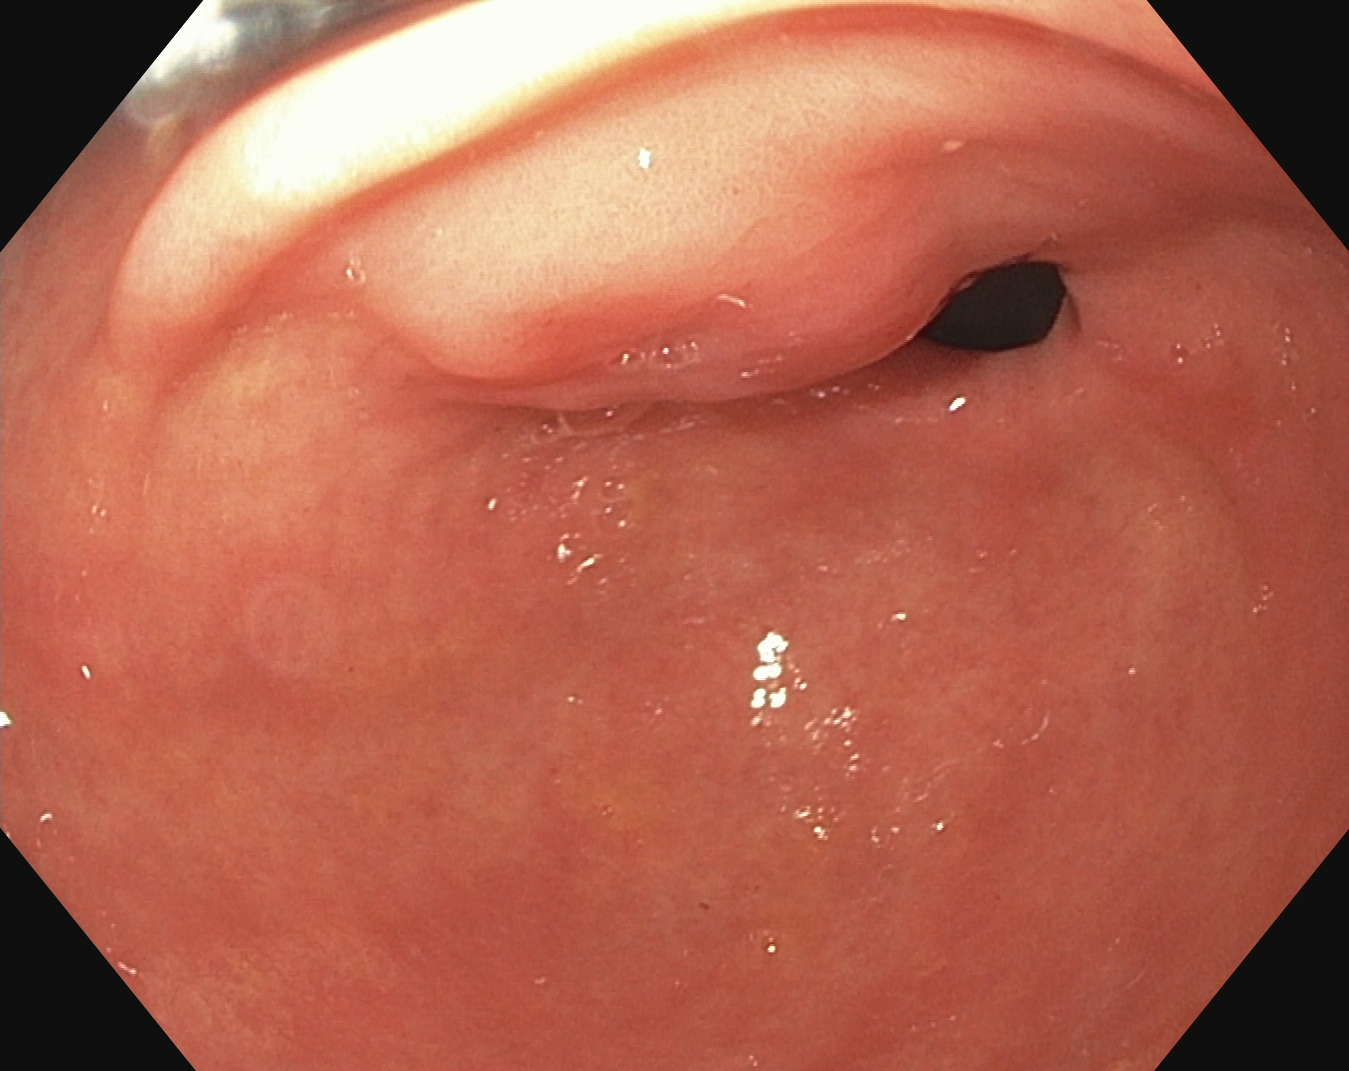This endoscopic image of the upper GI tract shows pylorus.